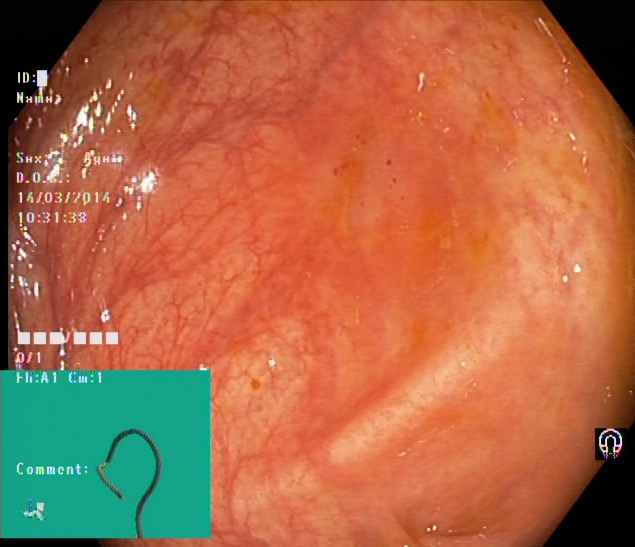Colonoscopy — cecum.